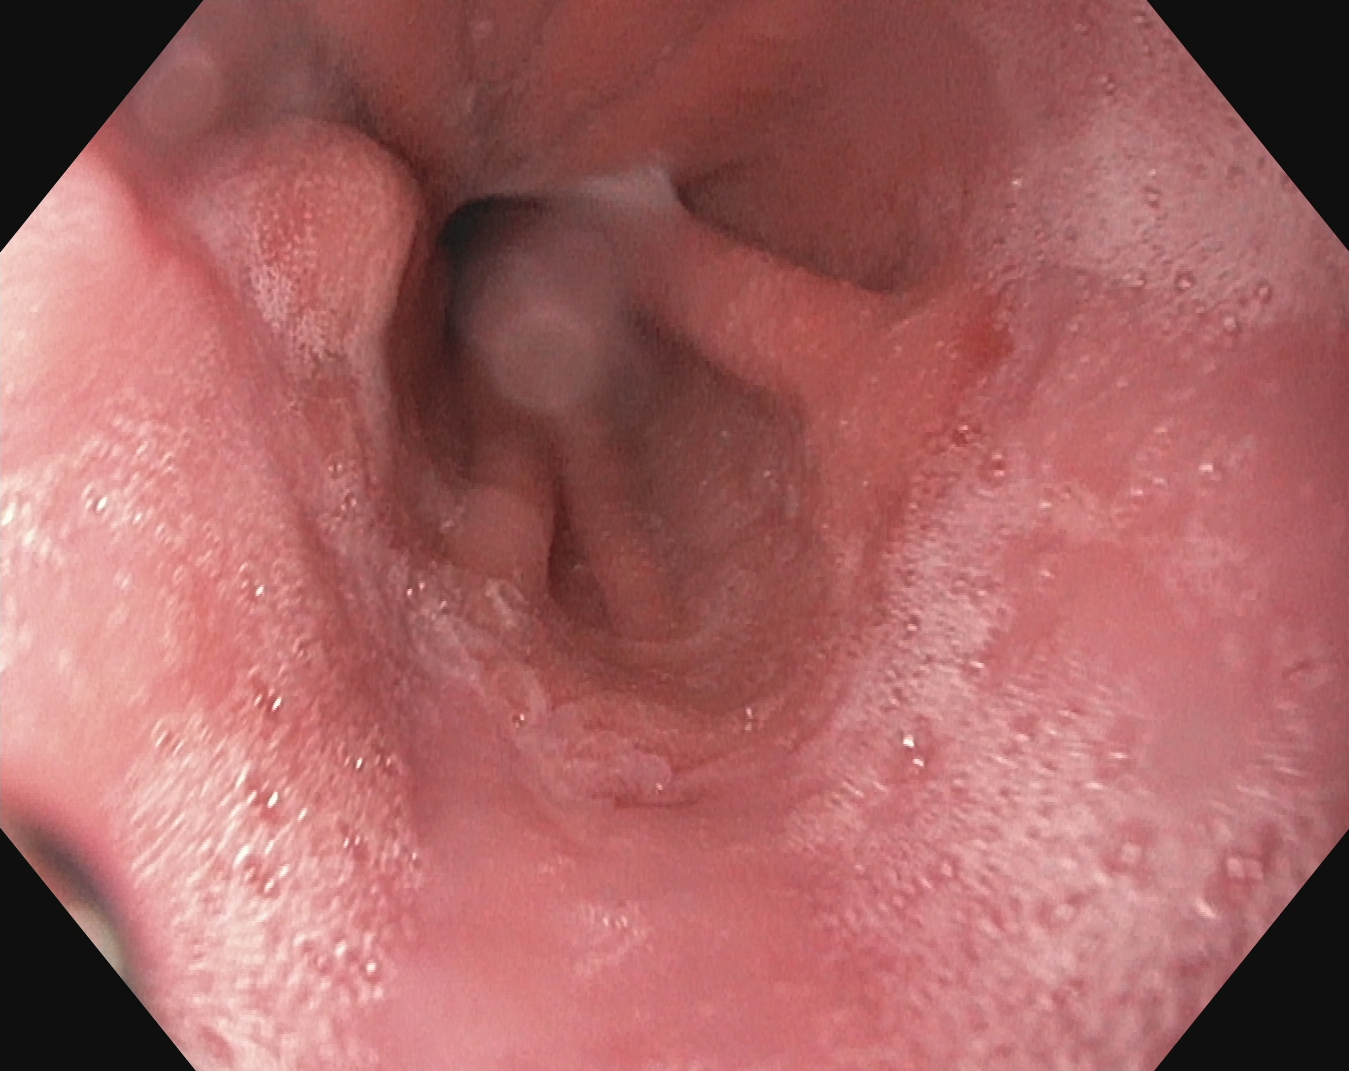GI endoscopy image of the upper GI tract showing reflux esophagitis, LA grade A.